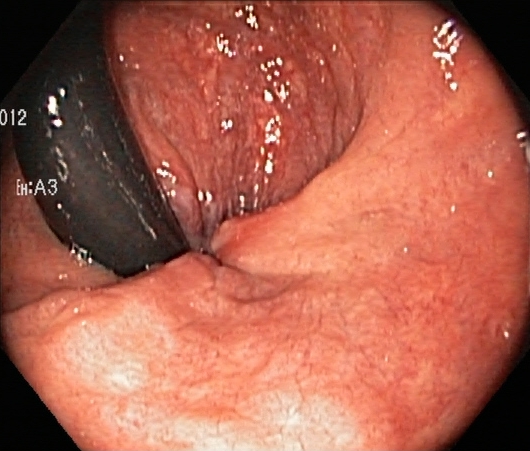Colonoscopy. Tract: lower GI tract. Anatomical landmark. Finding: rectum in retroflexion.